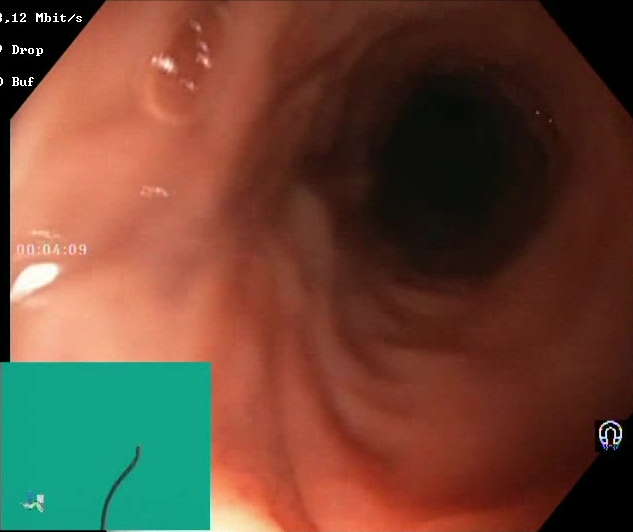This endoscopy frame shows Boston Bowel Preparation Scale score 2–3 (adequate preparation).